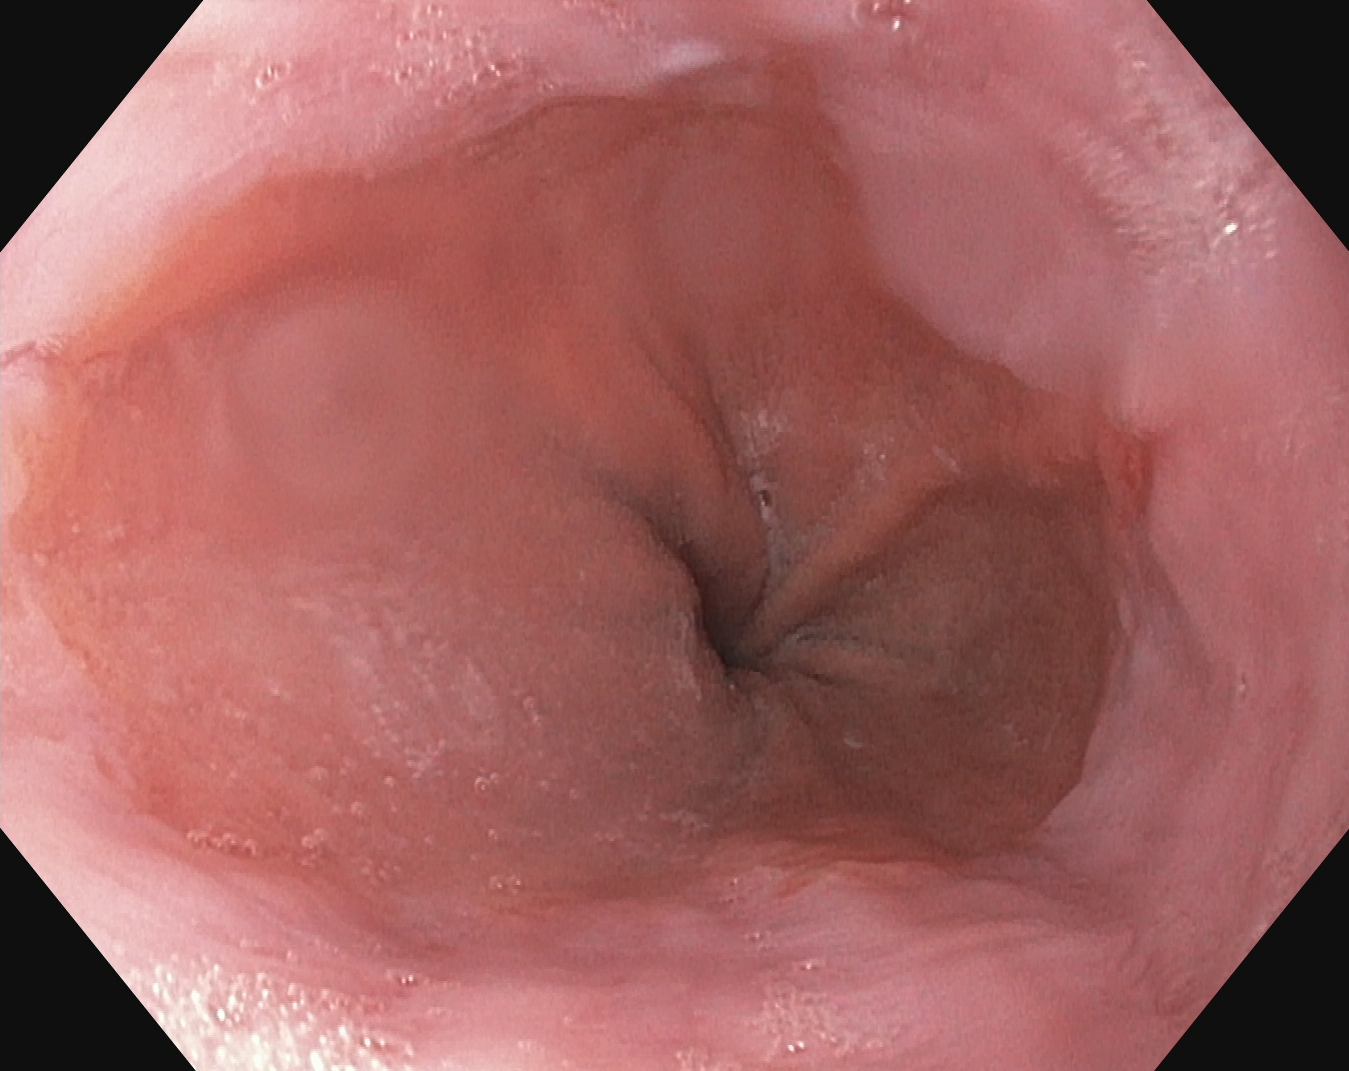Gastroscopy. Finding: reflux esophagitis, Los Angeles grade A.